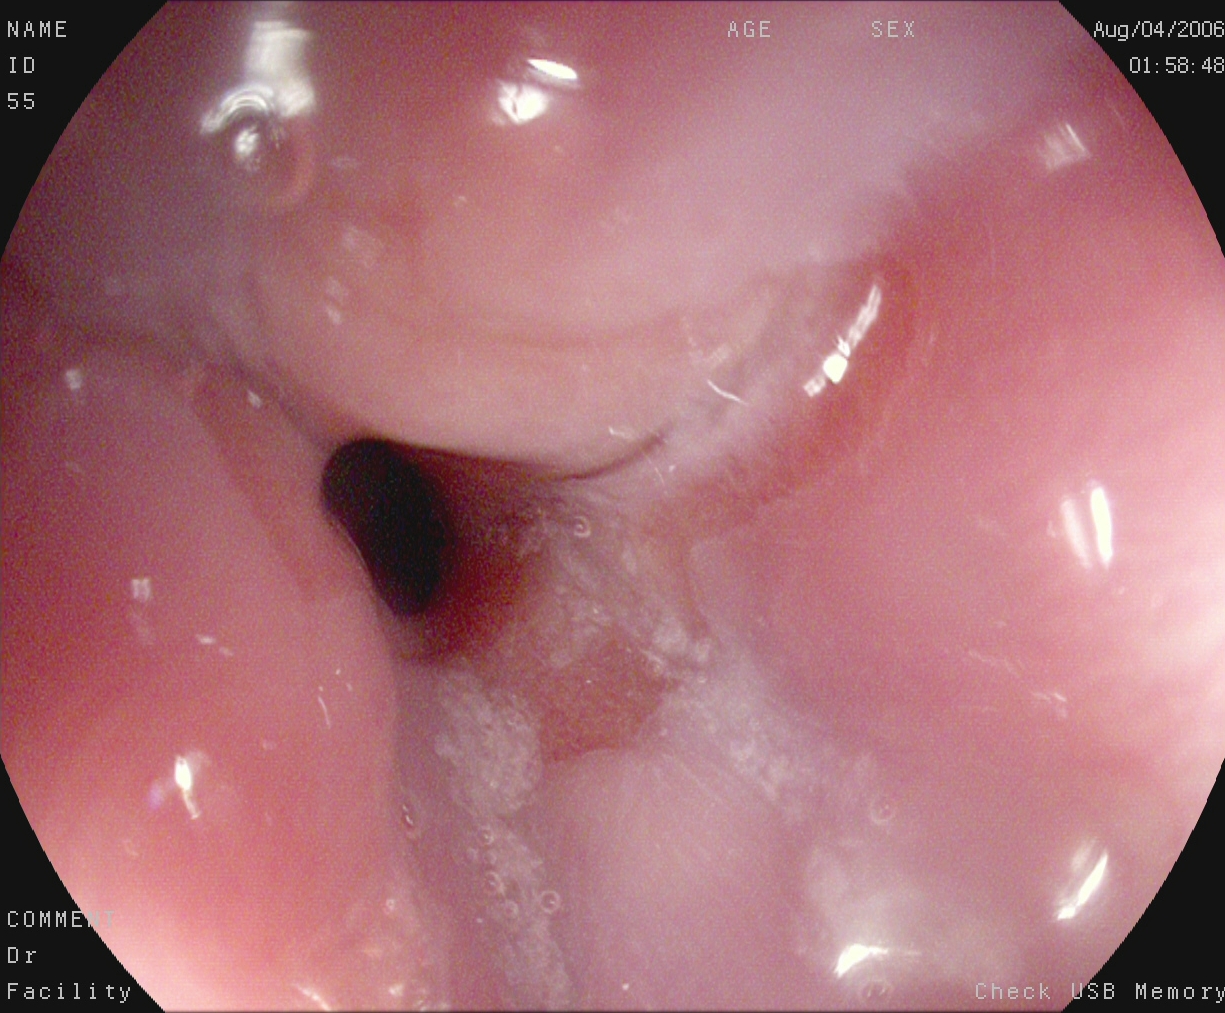PROCEDURE: EGD.
CATEGORY: Anatomical landmark.
FINDINGS: Z-line (gastroesophageal junction).